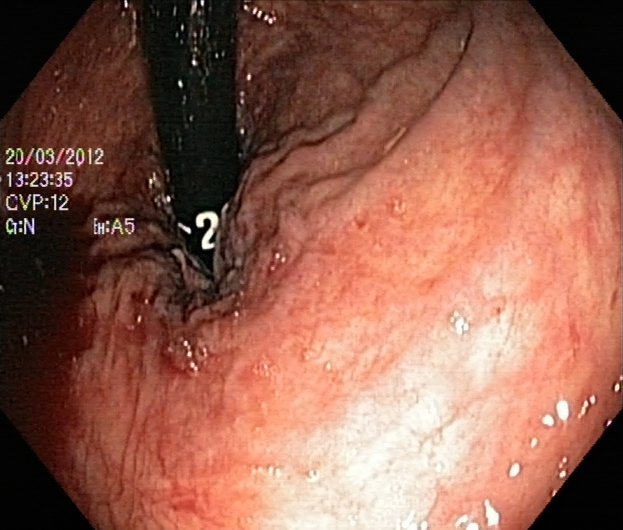Lower gastrointestinal endoscopy image showing rectum in retroflexion.